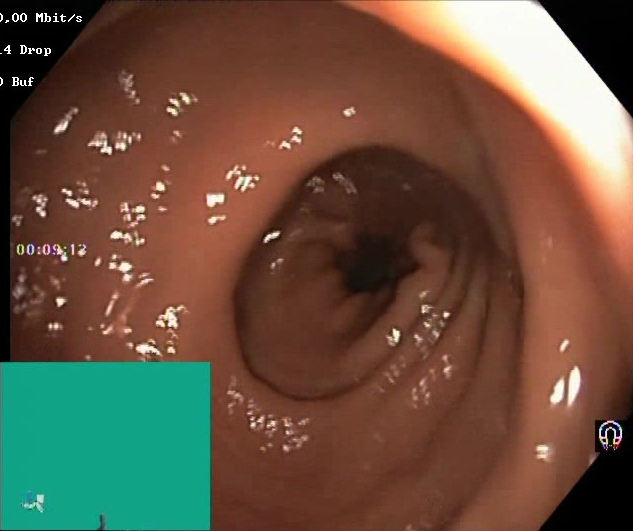Lower-GI endoscopy — Boston Bowel Preparation Scale score 2–3 (adequate preparation).